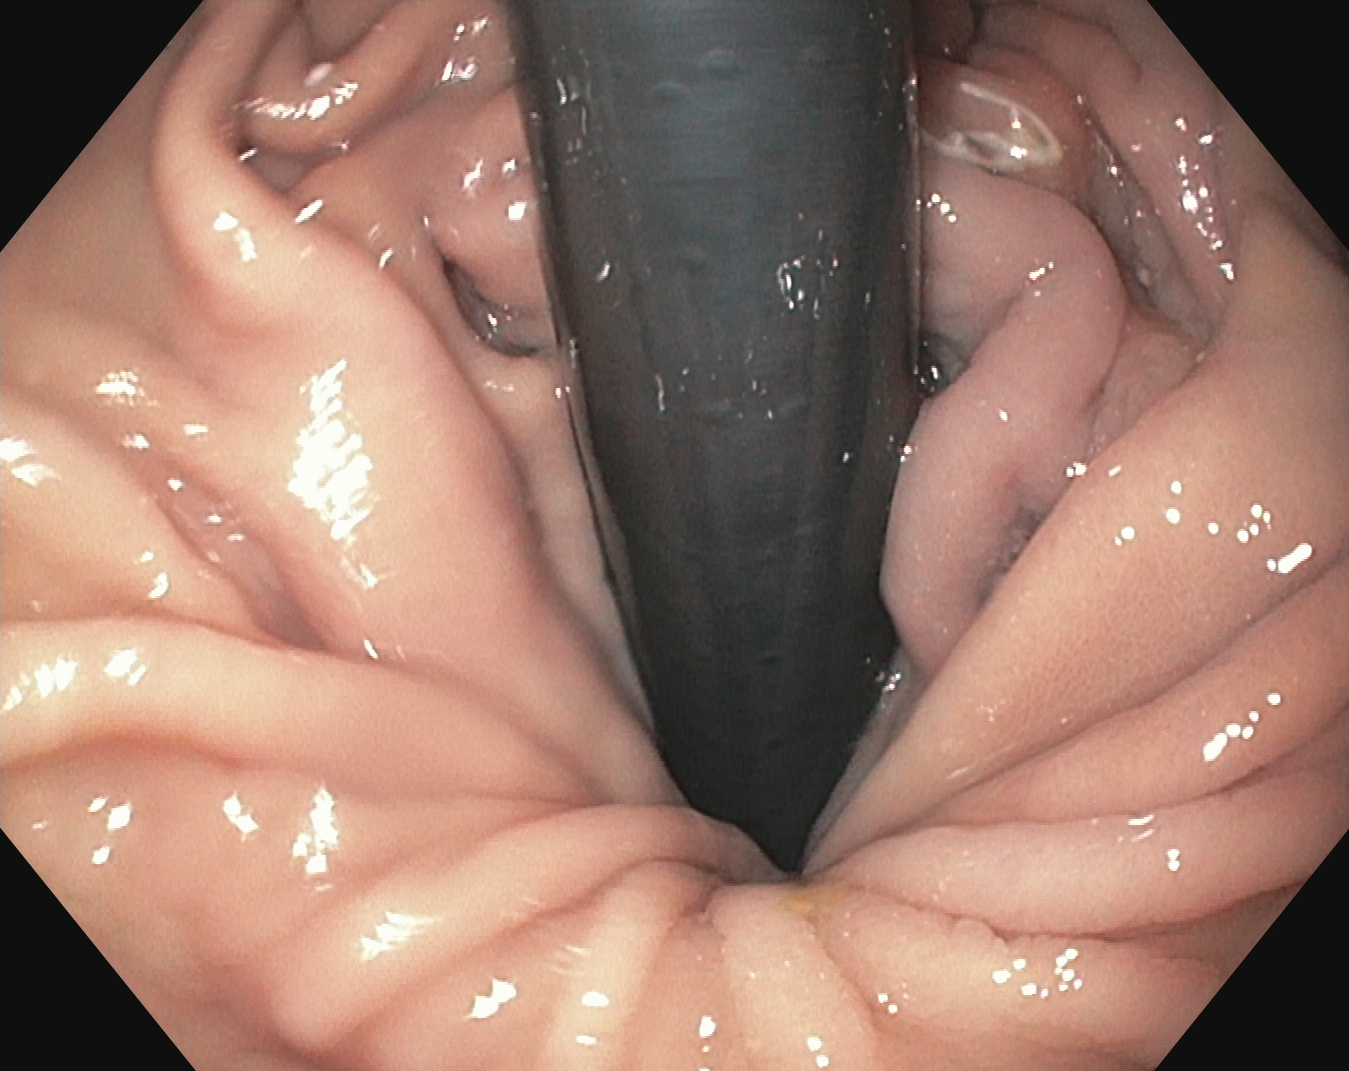stomach in retroflexion.